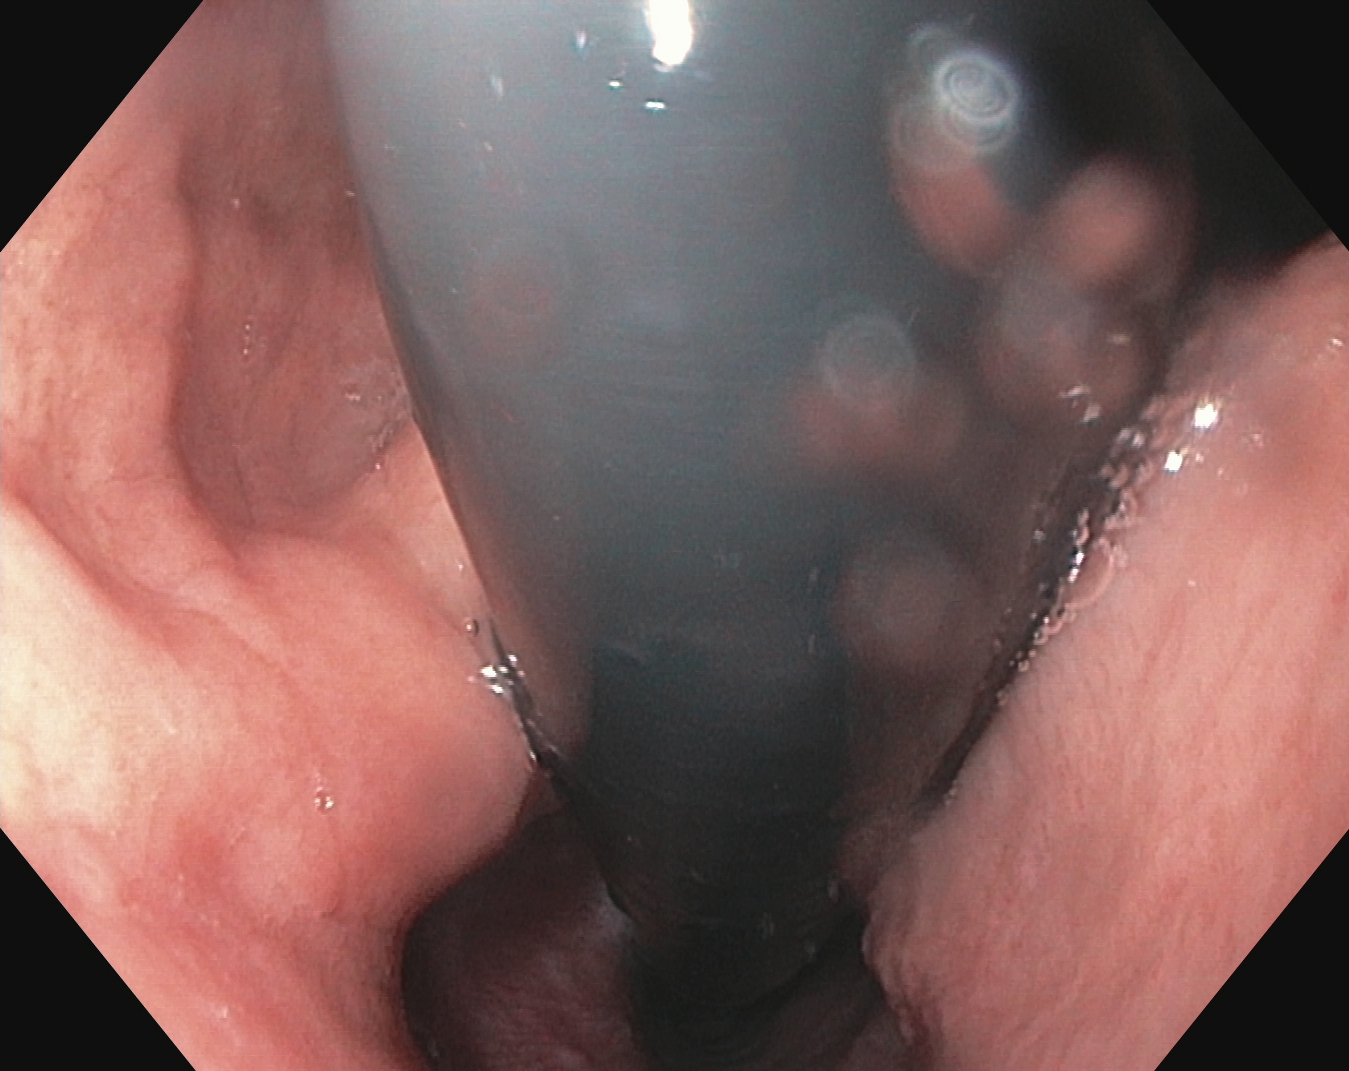Esophagogastroduodenoscopy. Anatomical landmark. Finding: stomach in retroflexion.